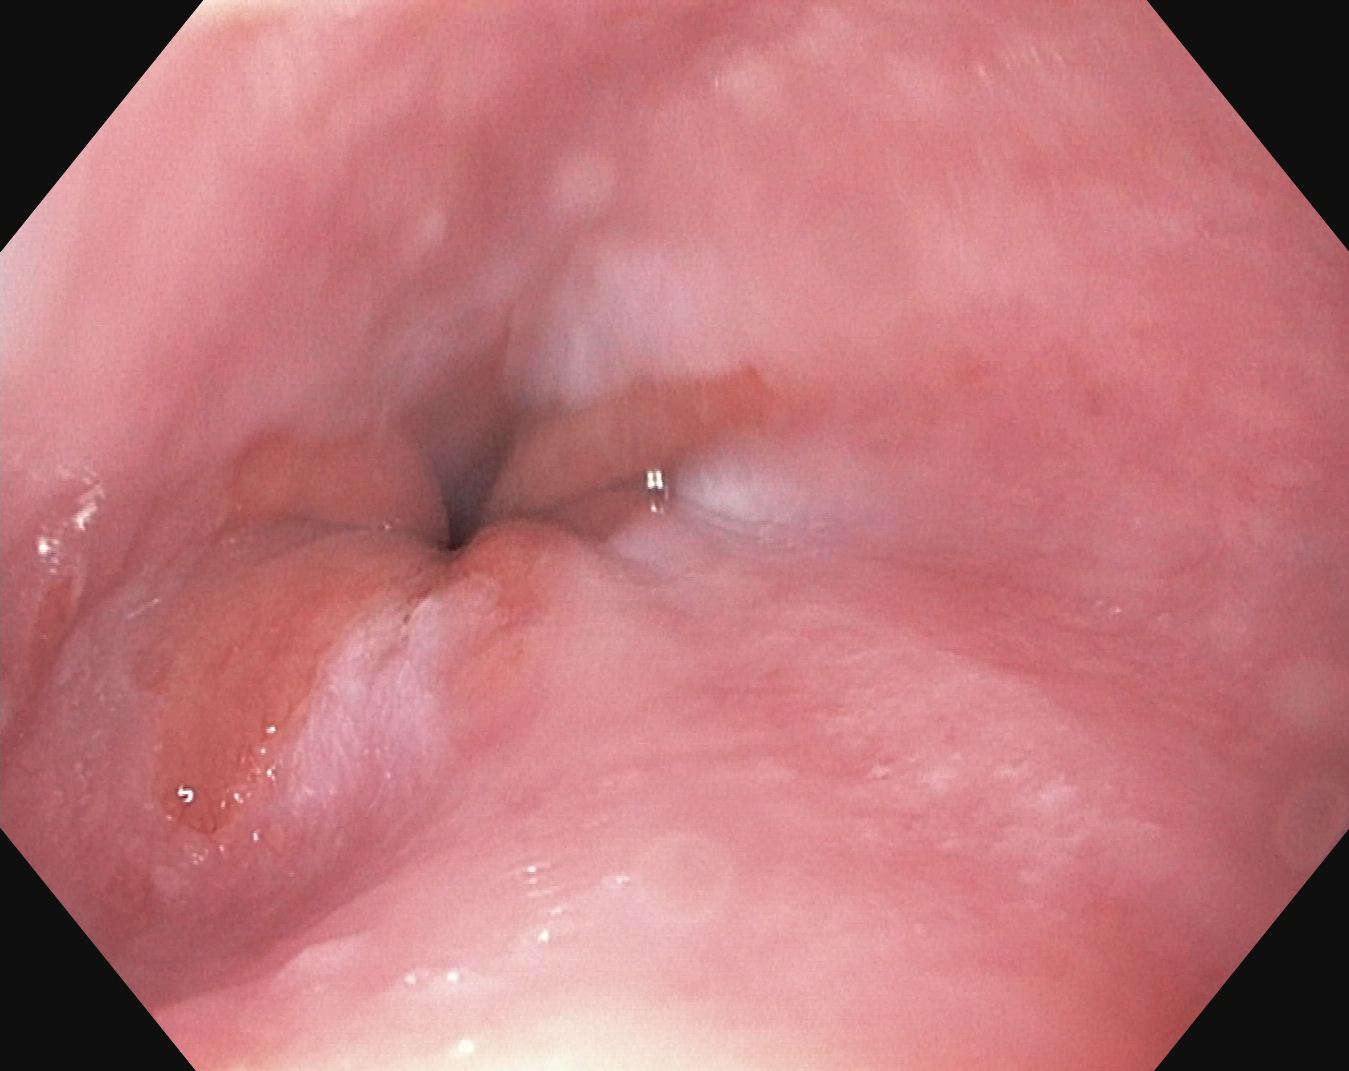Upper-GI endoscopy — Z-line (gastroesophageal junction).